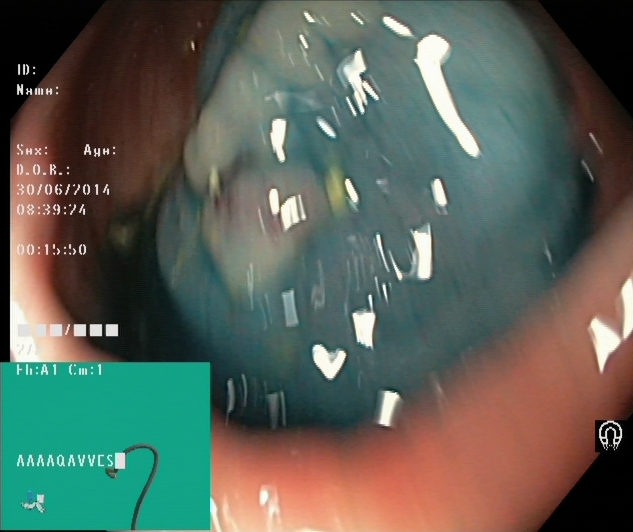Lower-GI endoscopy — dyed and lifted polyp (pre-resection).